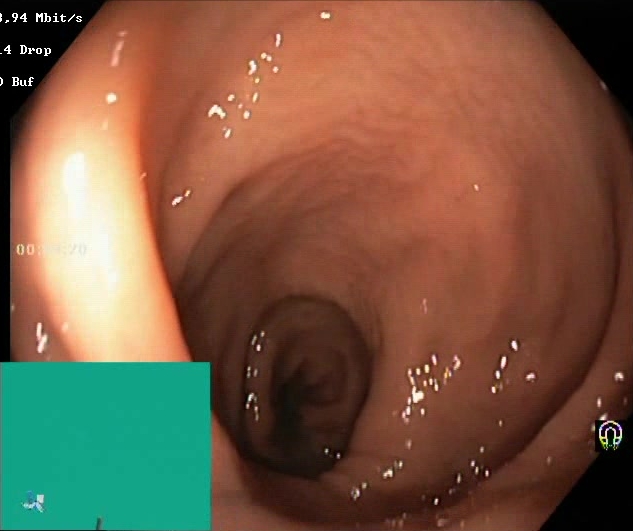BBPS score 2–3 (adequate preparation).